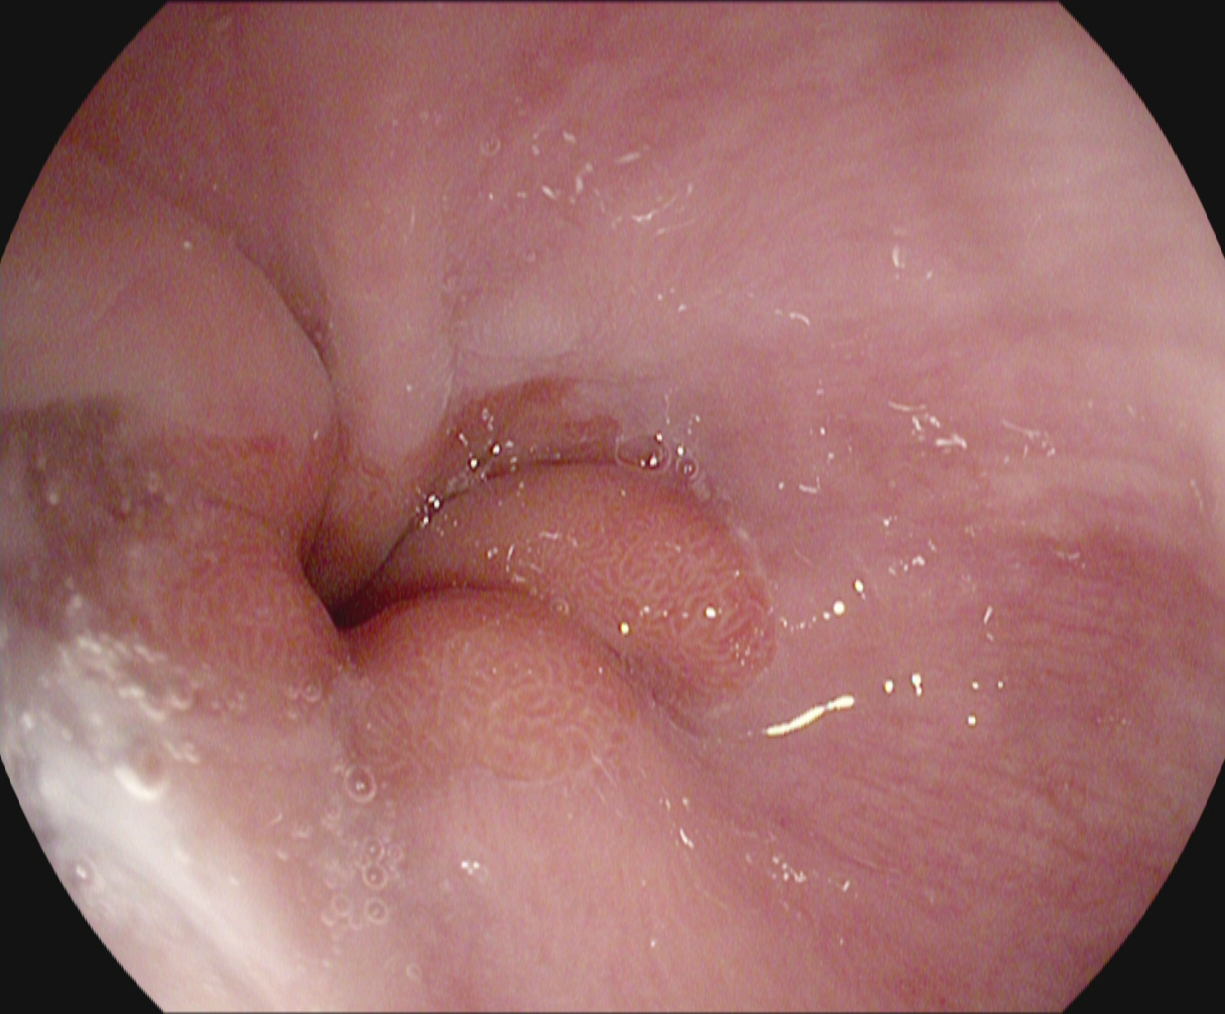EGD. Finding: Z-line (gastroesophageal junction).